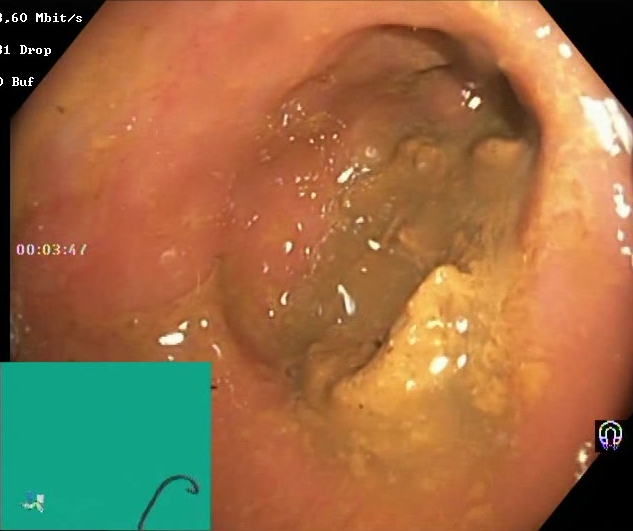This endoscopic image of the lower GI tract shows Boston Bowel Preparation Scale score 0–1 (inadequate preparation).